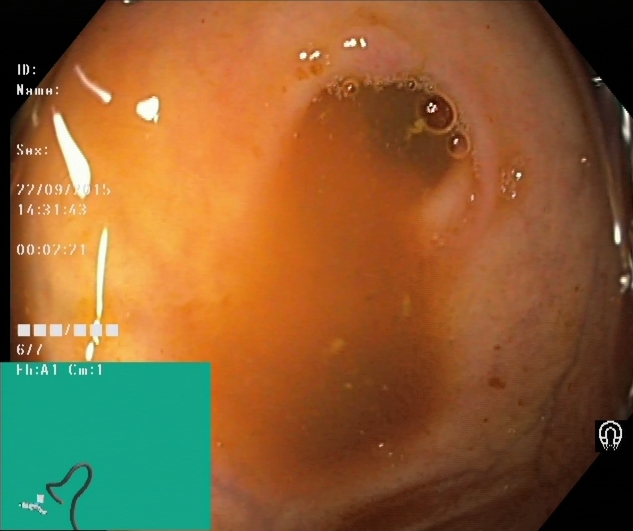This endoscopic image shows cecum.